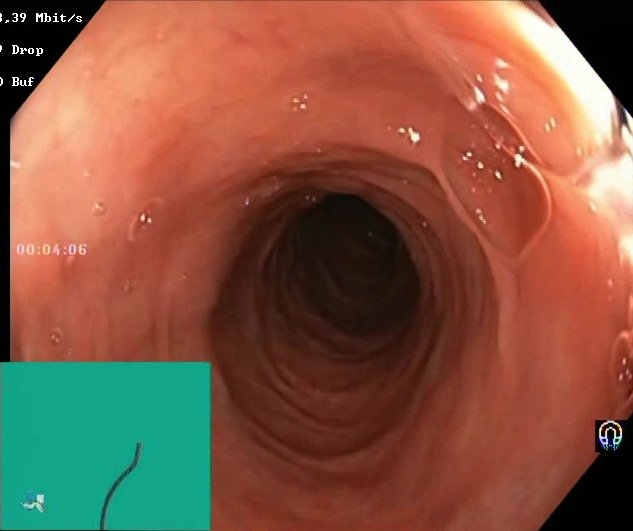PROCEDURE: Lower-GI endoscopy.
CATEGORY: Mucosal-view quality.
FINDINGS: BBPS score 2–3 (adequate preparation).